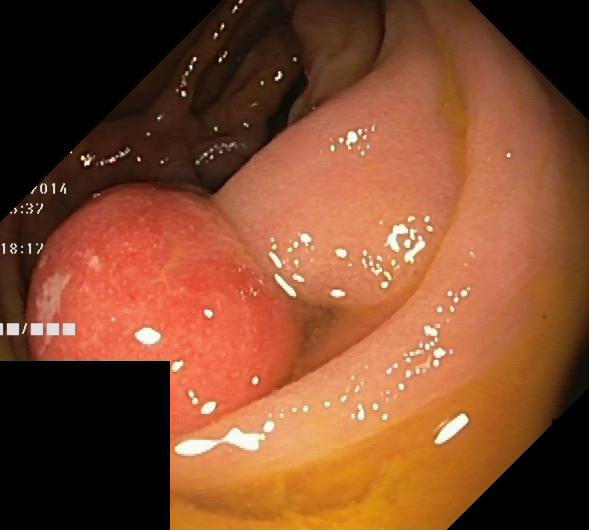{"modality": "lower-GI endoscopy", "tract": "lower GI tract", "category": "pathological finding", "finding": "colorectal polyp(s)"}